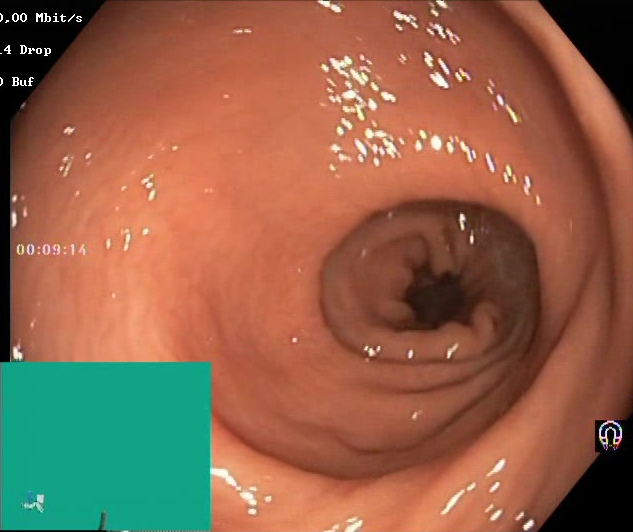PROCEDURE: Colonoscopy.
CATEGORY: Mucosal-view quality.
FINDINGS: Boston Bowel Preparation Scale score 2–3 (adequate preparation).